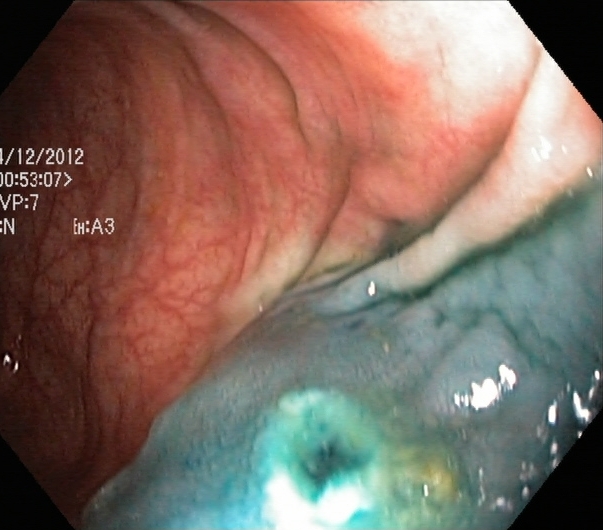modality: lower-GI endoscopy
category: therapeutic intervention
finding: dyed resection margins (post-polypectomy)